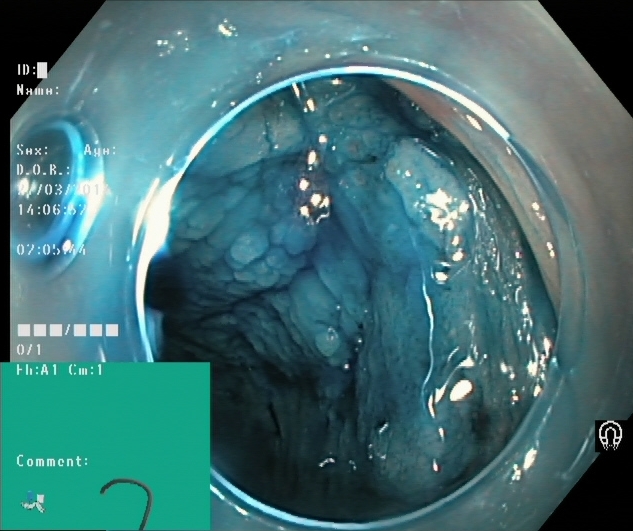This endoscopic image shows dyed and lifted polyp (pre-resection).